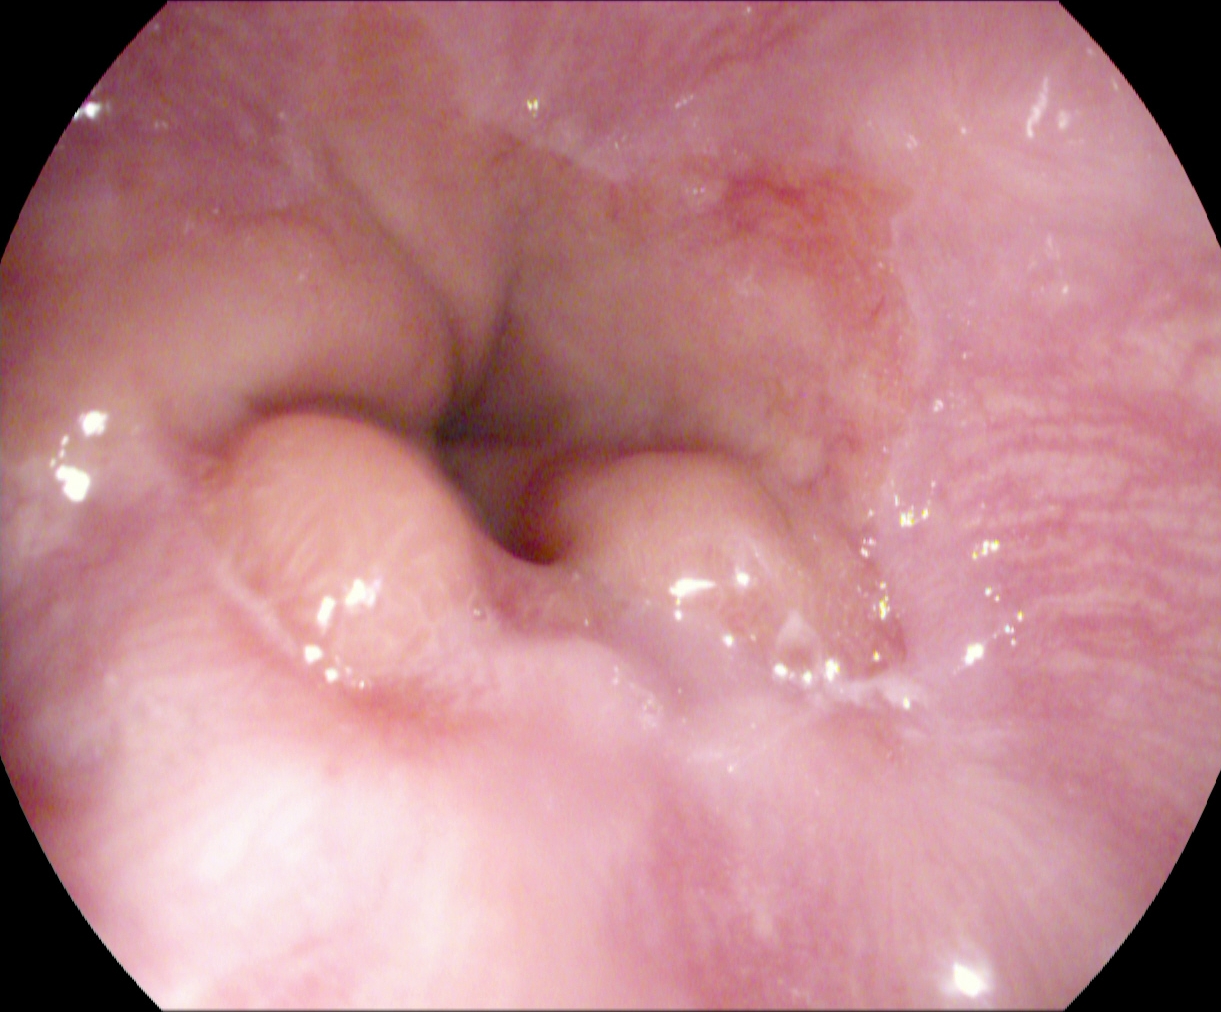{"modality": "upper-GI endoscopy", "finding": "reflux esophagitis, Los Angeles grade A"}